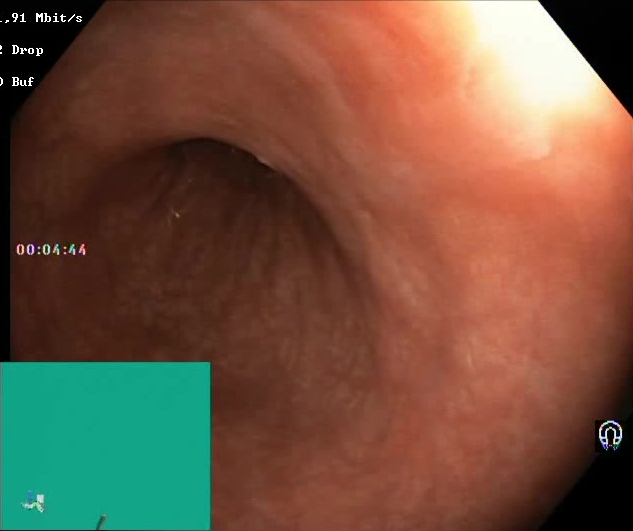Boston Bowel Preparation Scale score 2–3 (adequate preparation).